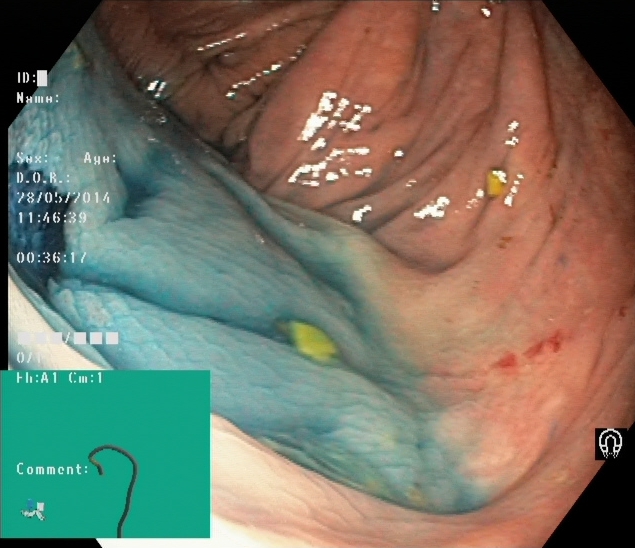{"modality": "lower-GI endoscopy", "finding": "dyed resection margins (post-polypectomy)"}